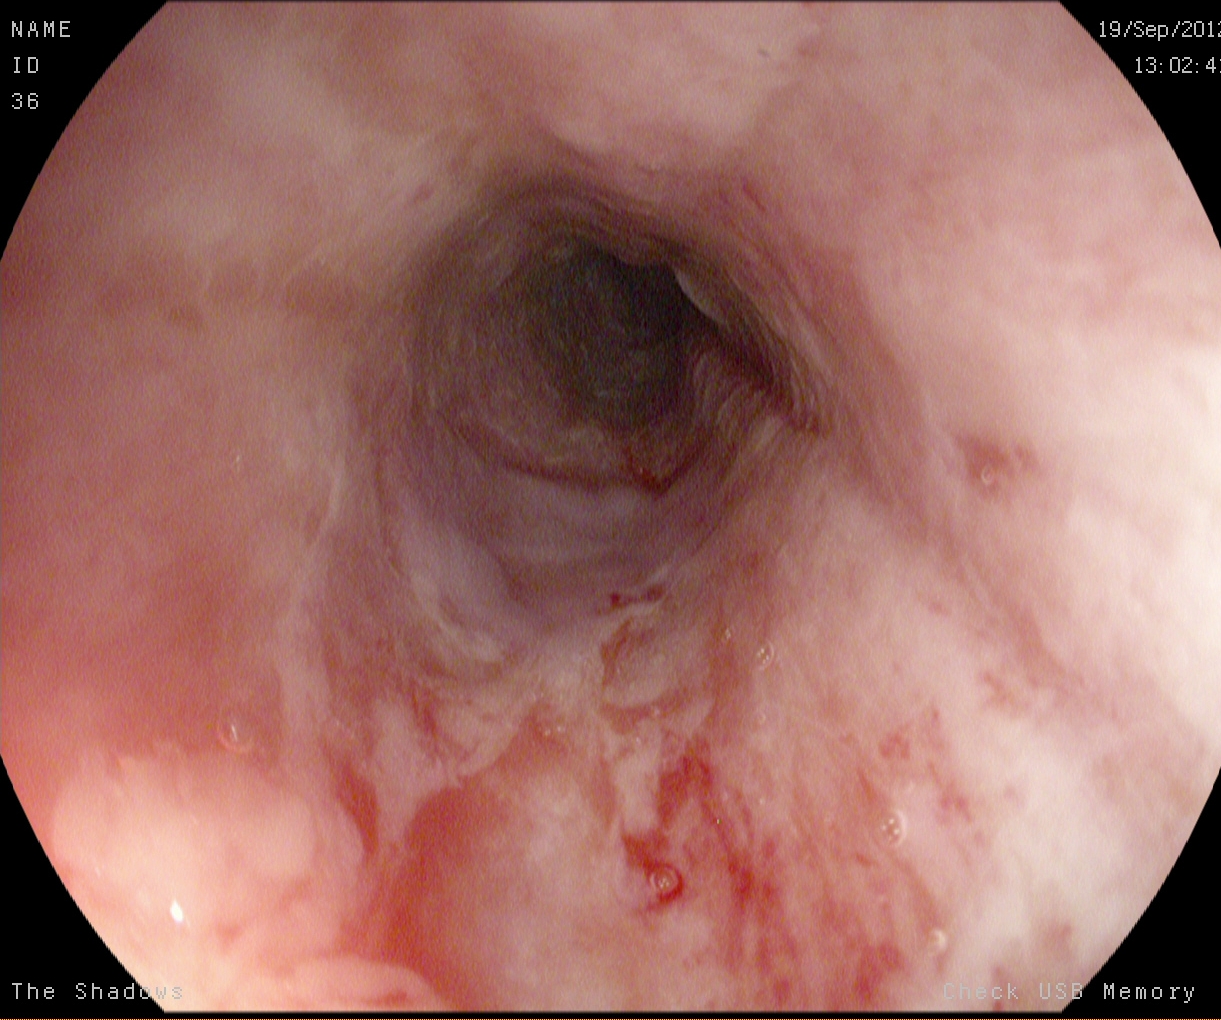This endoscopic image of the upper GI tract shows reflux esophagitis, LA grade B–D.